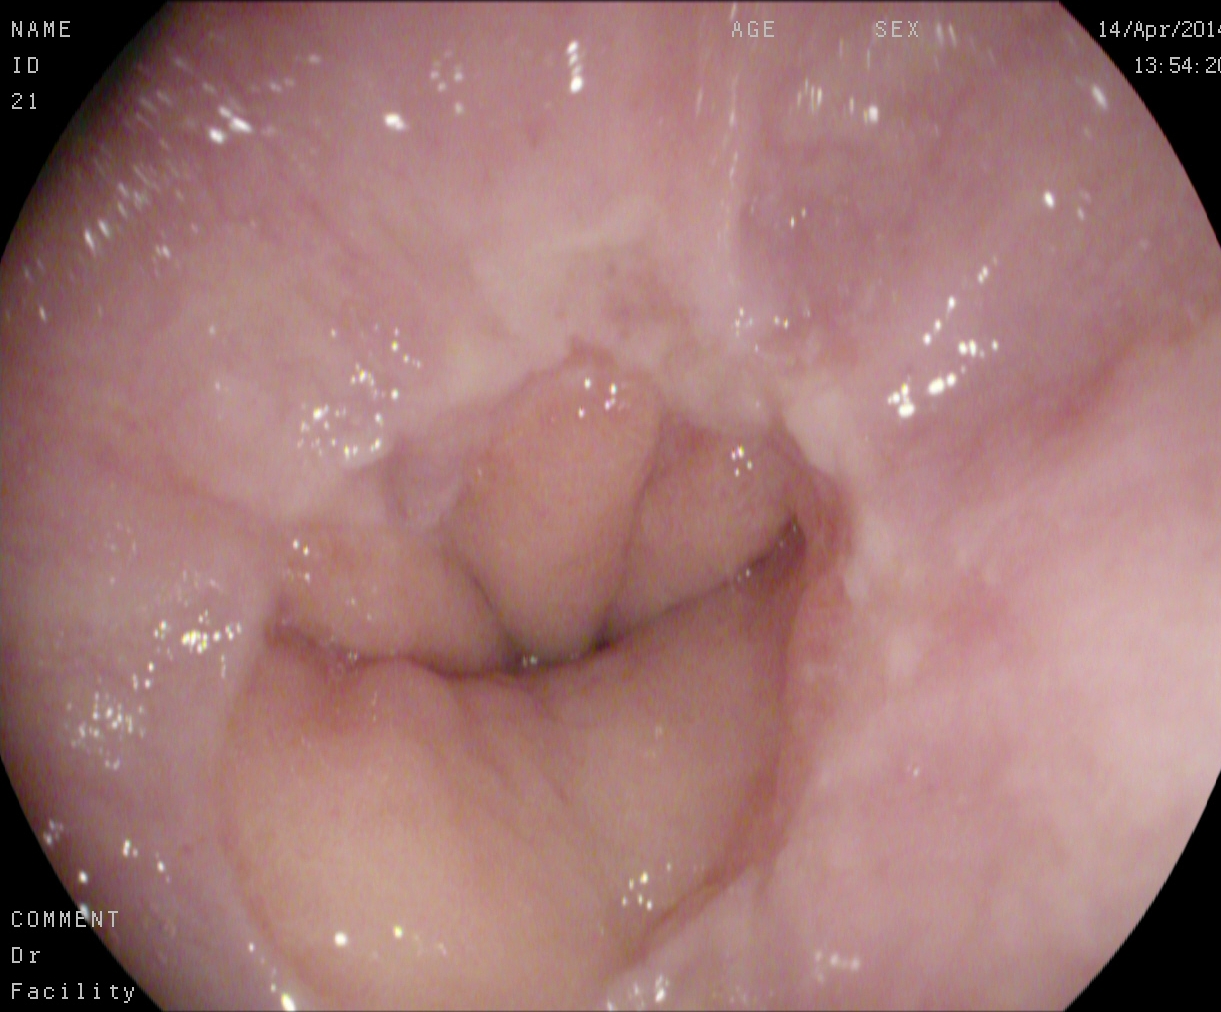Z-line (gastroesophageal junction).